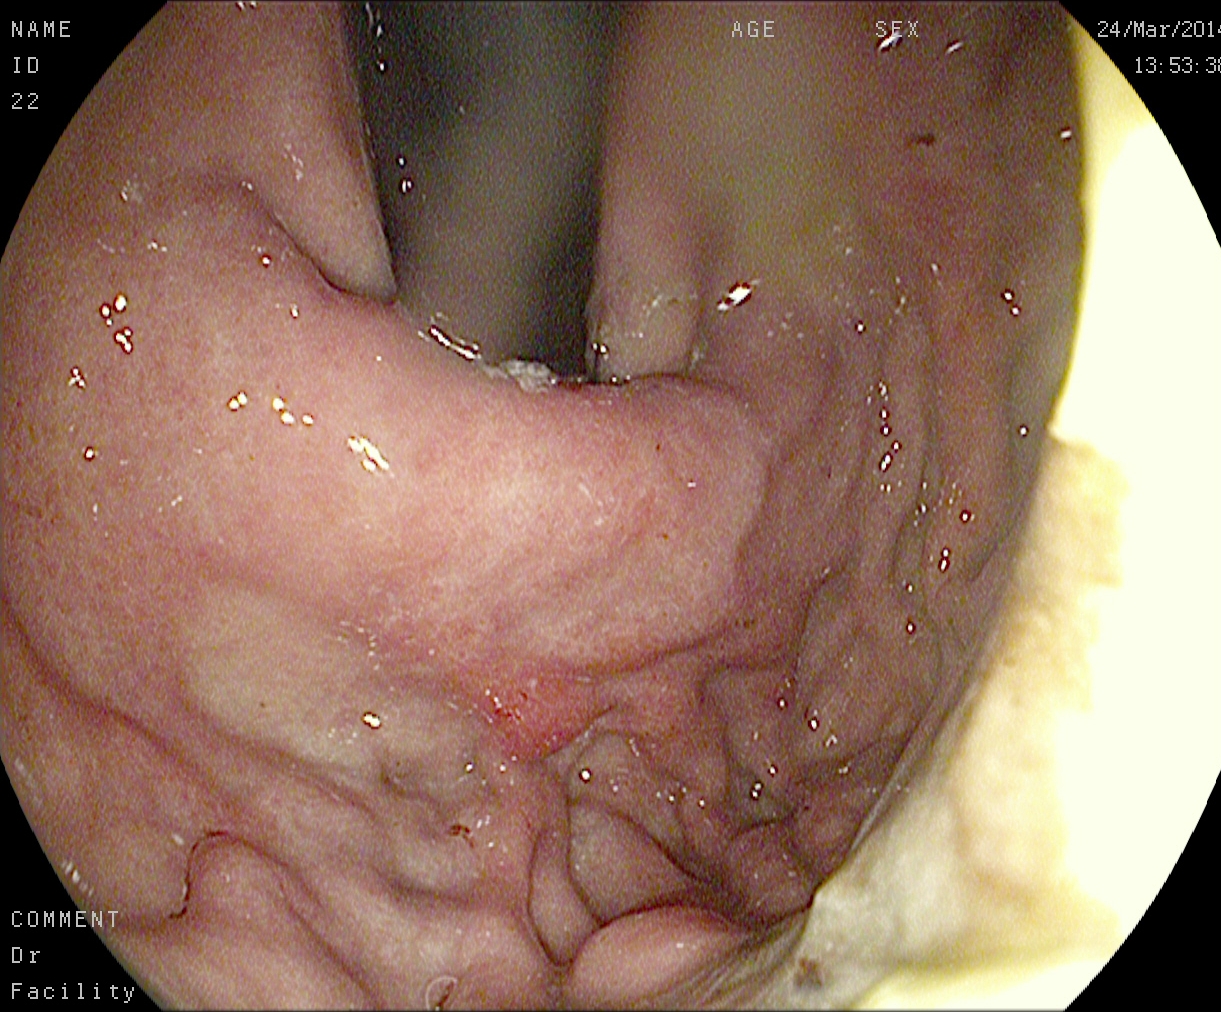Stomach in retroflexion.